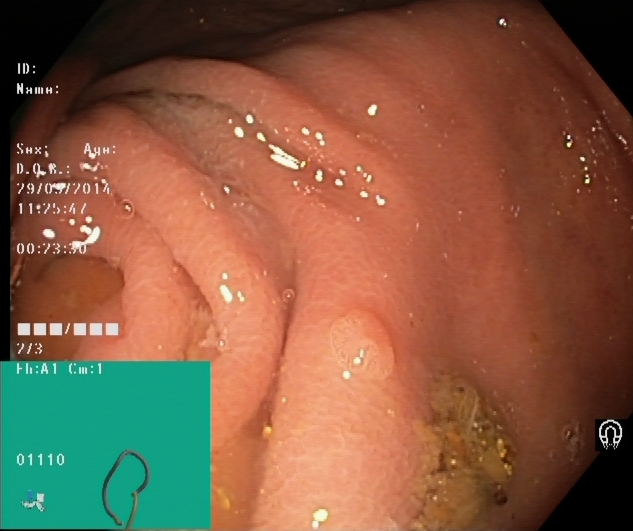Cecum.